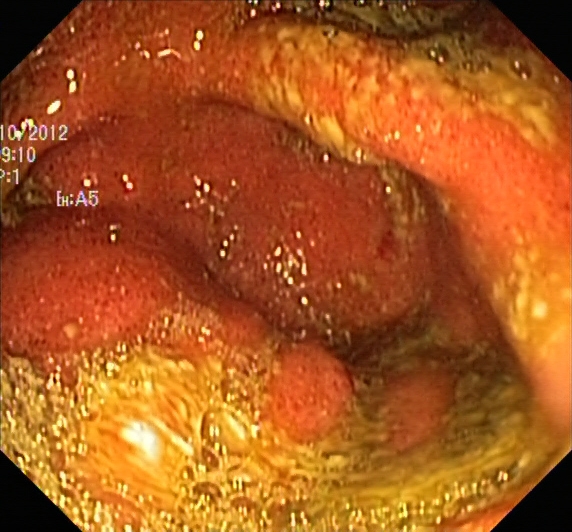This endoscopic image shows BBPS score 0–1 (inadequate preparation).